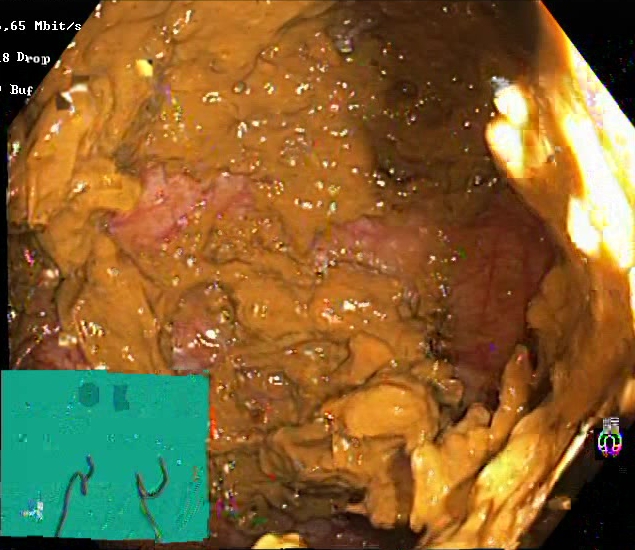This endoscopy frame of the lower GI tract shows Boston Bowel Preparation Scale score 0–1 (inadequate preparation).